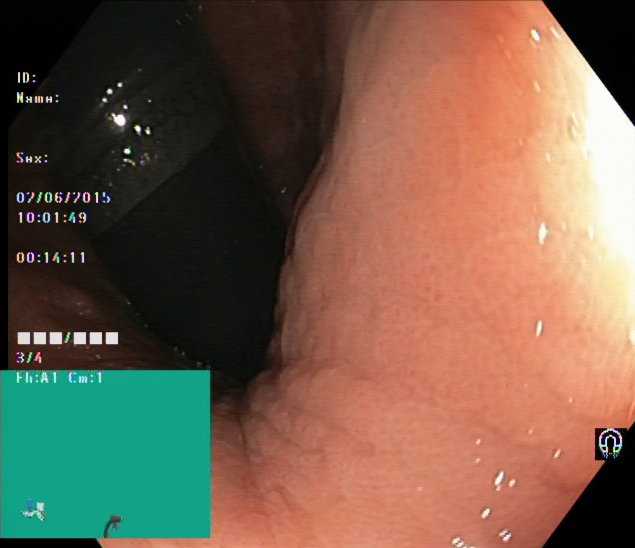Endoscopy image showing rectum in retroflexion.